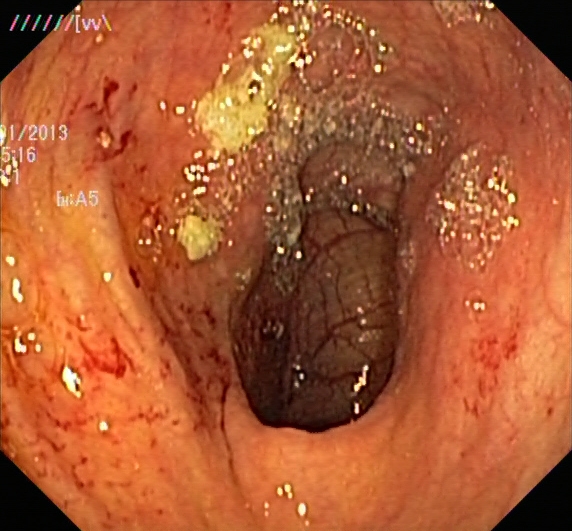Colonoscopy — ulcerative colitis, Mayo endoscopic subscore 1.